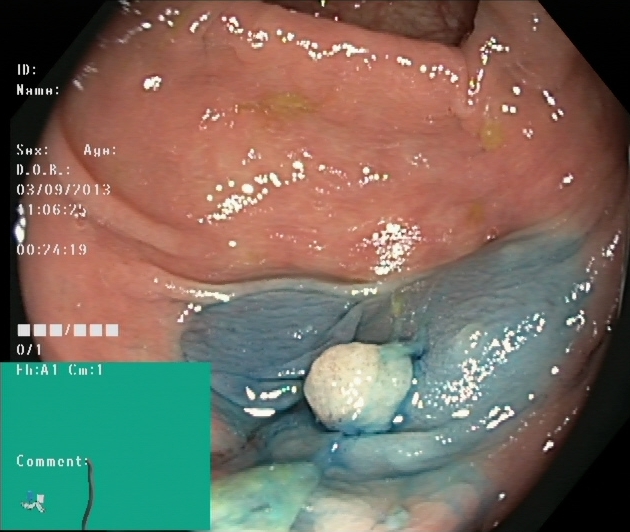This endoscopy frame of the lower GI tract shows dyed and lifted polyp (pre-resection).